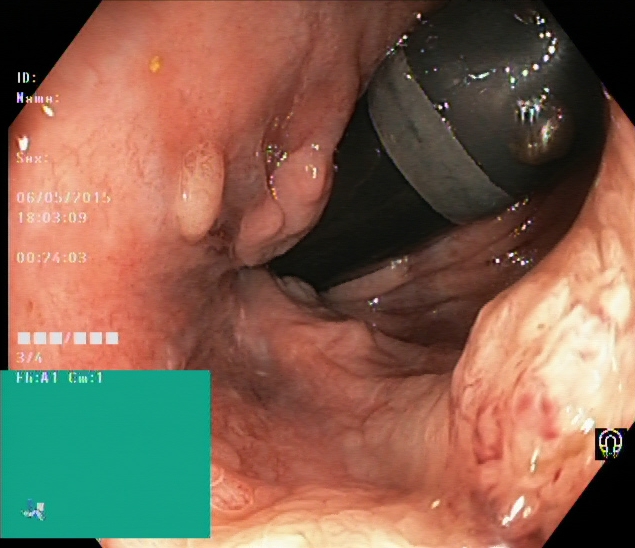Lower gastrointestinal endoscopy — colorectal polyp(s).